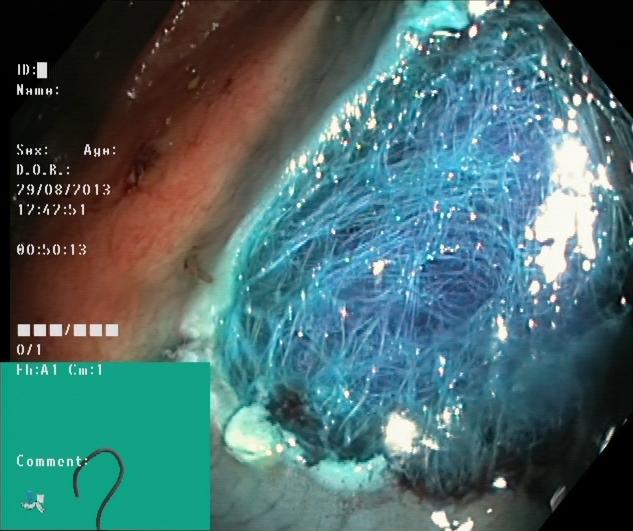modality: colonoscopy; tract: lower GI tract; finding: dyed resection margins (post-polypectomy)